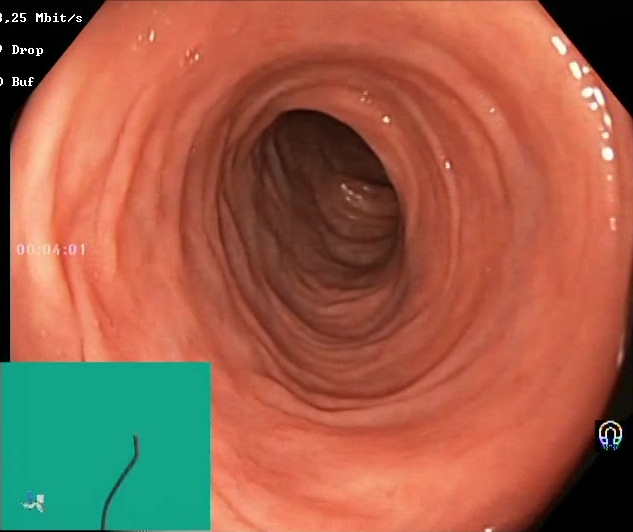PROCEDURE: Lower-GI endoscopy.
FINDINGS: Boston Bowel Preparation Scale score 2–3 (adequate preparation).